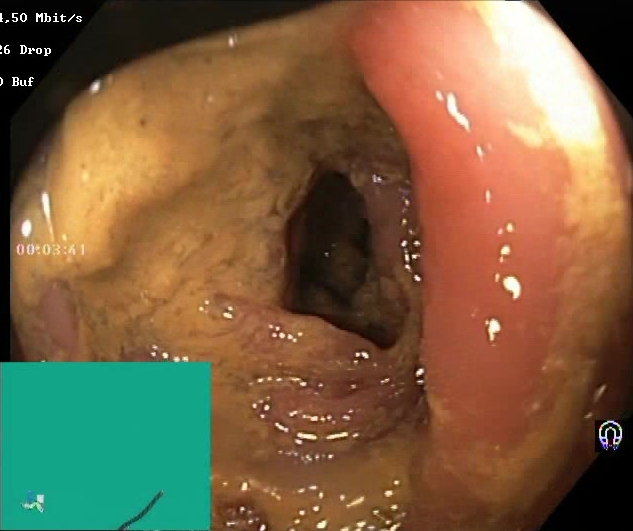{"modality": "lower gastrointestinal endoscopy", "category": "mucosal-view quality", "finding": "Boston Bowel Preparation Scale score 0\u20131 (inadequate preparation)"}